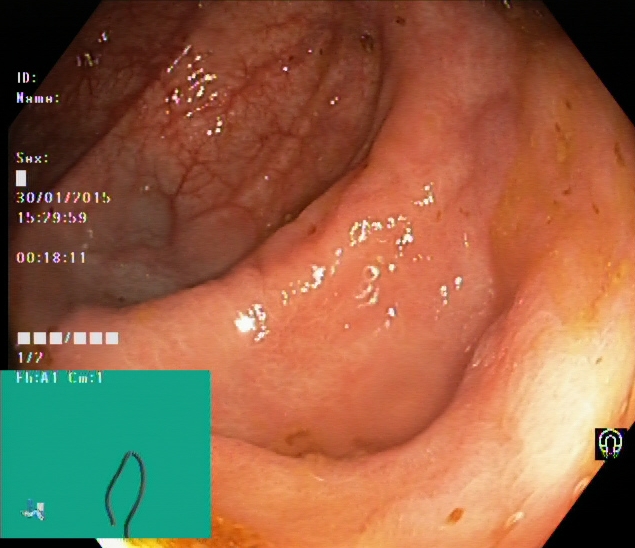cecum.